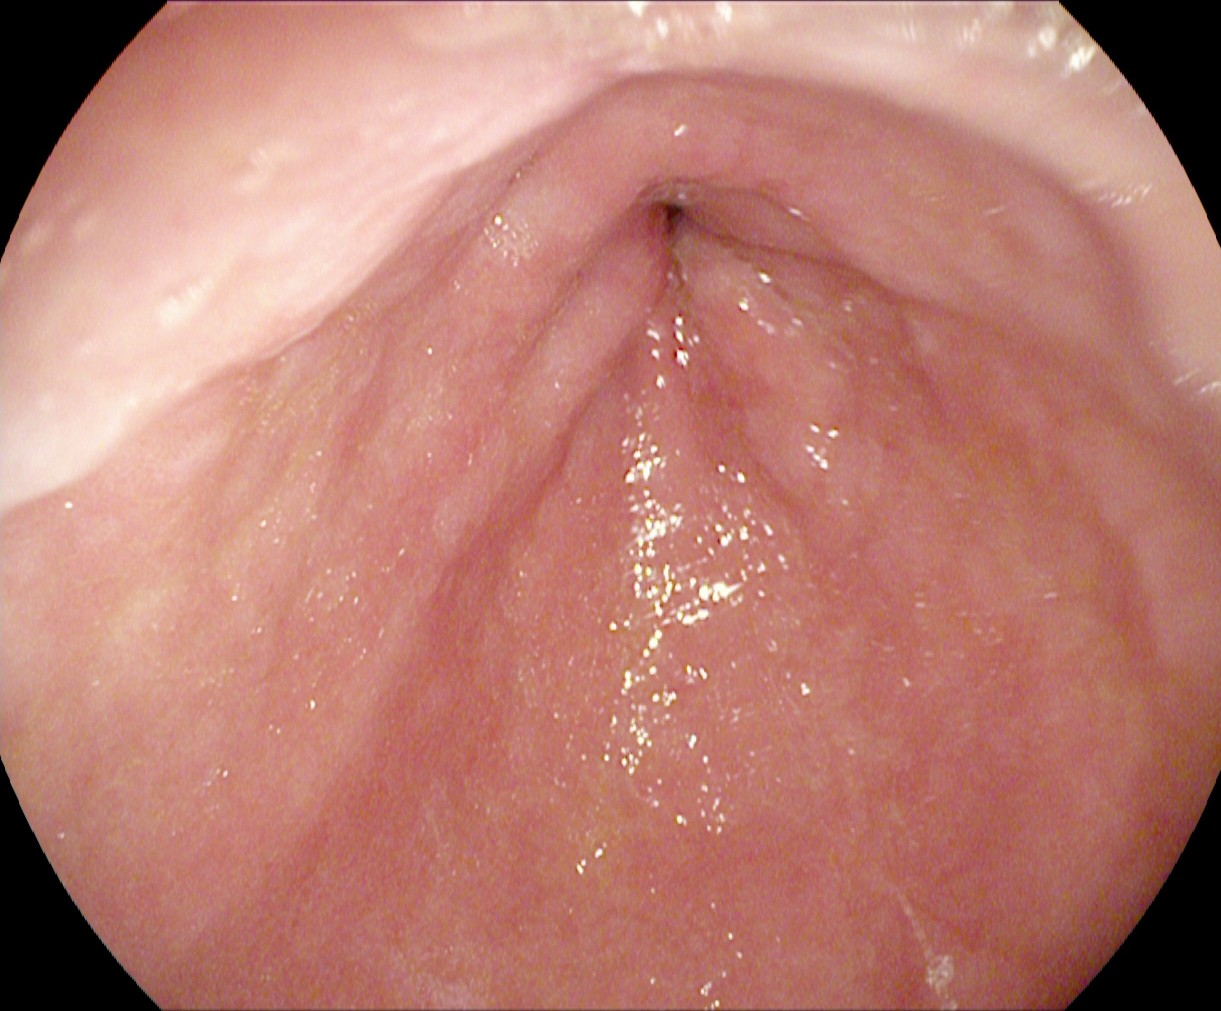Endoscopy image of the upper GI tract showing pylorus.